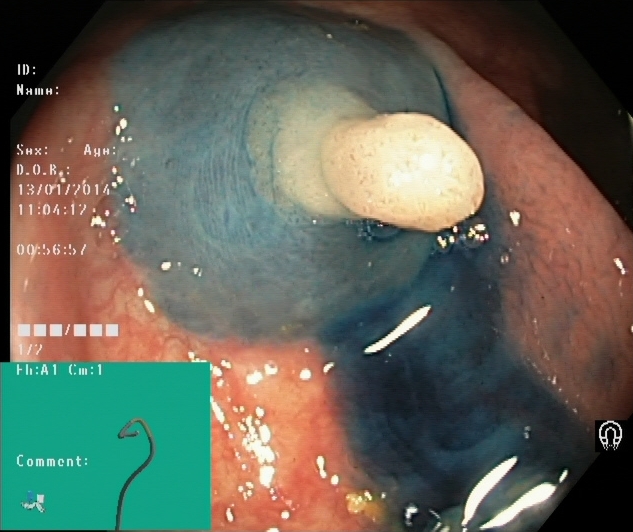{"modality": "lower-GI endoscopy", "tract": "lower GI tract", "finding": "dyed and lifted polyp (pre-resection)"}